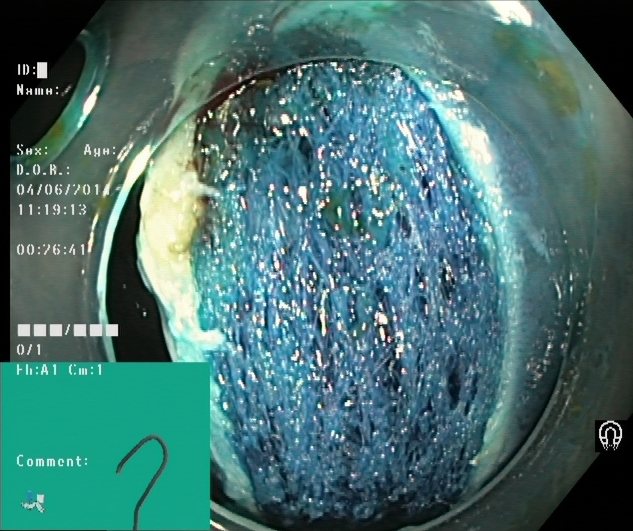This endoscopy frame shows dyed resection margins (post-polypectomy).